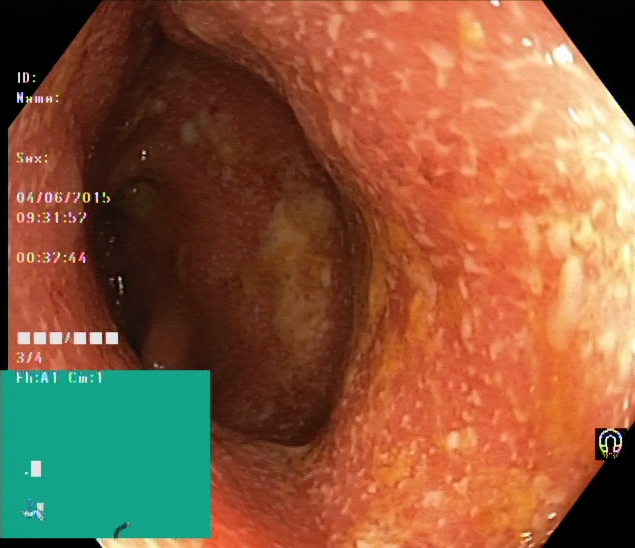Ulcerative colitis, Mayo endoscopic subscore 2.